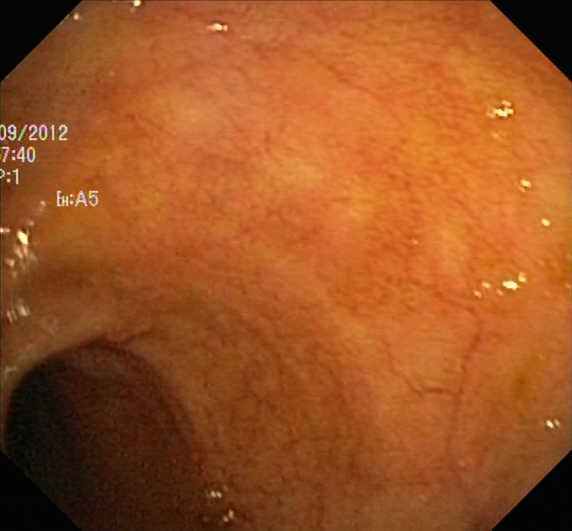{"modality": "lower gastrointestinal endoscopy", "tract": "lower GI tract", "finding": "UC, Mayo endoscopic subscore 0\u20131"}